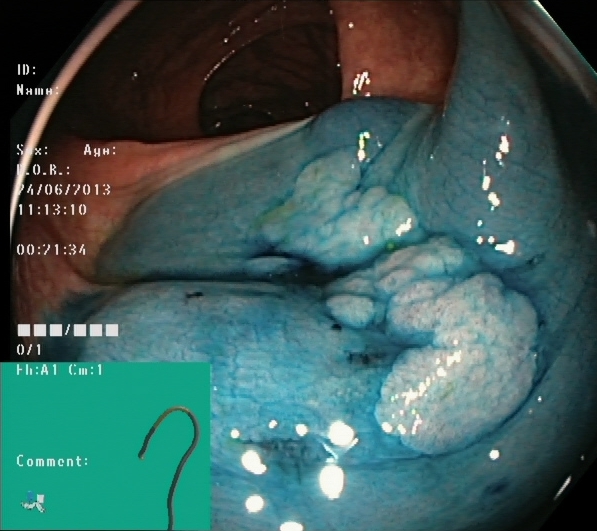Lower gastrointestinal endoscopy — dyed and lifted polyp (pre-resection).